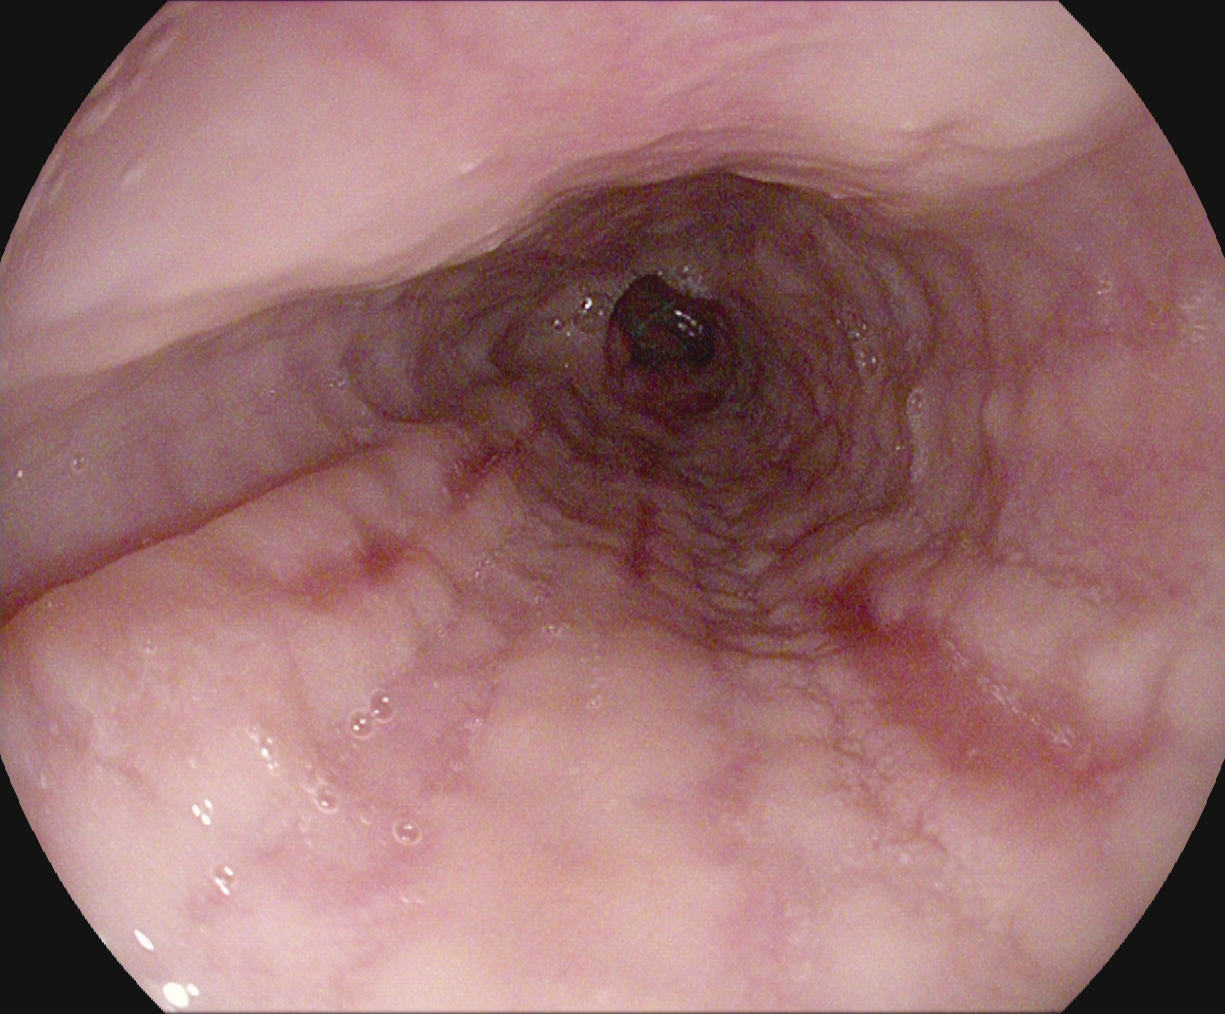This endoscopy frame of the upper GI tract shows reflux esophagitis, Los Angeles grade B–D.